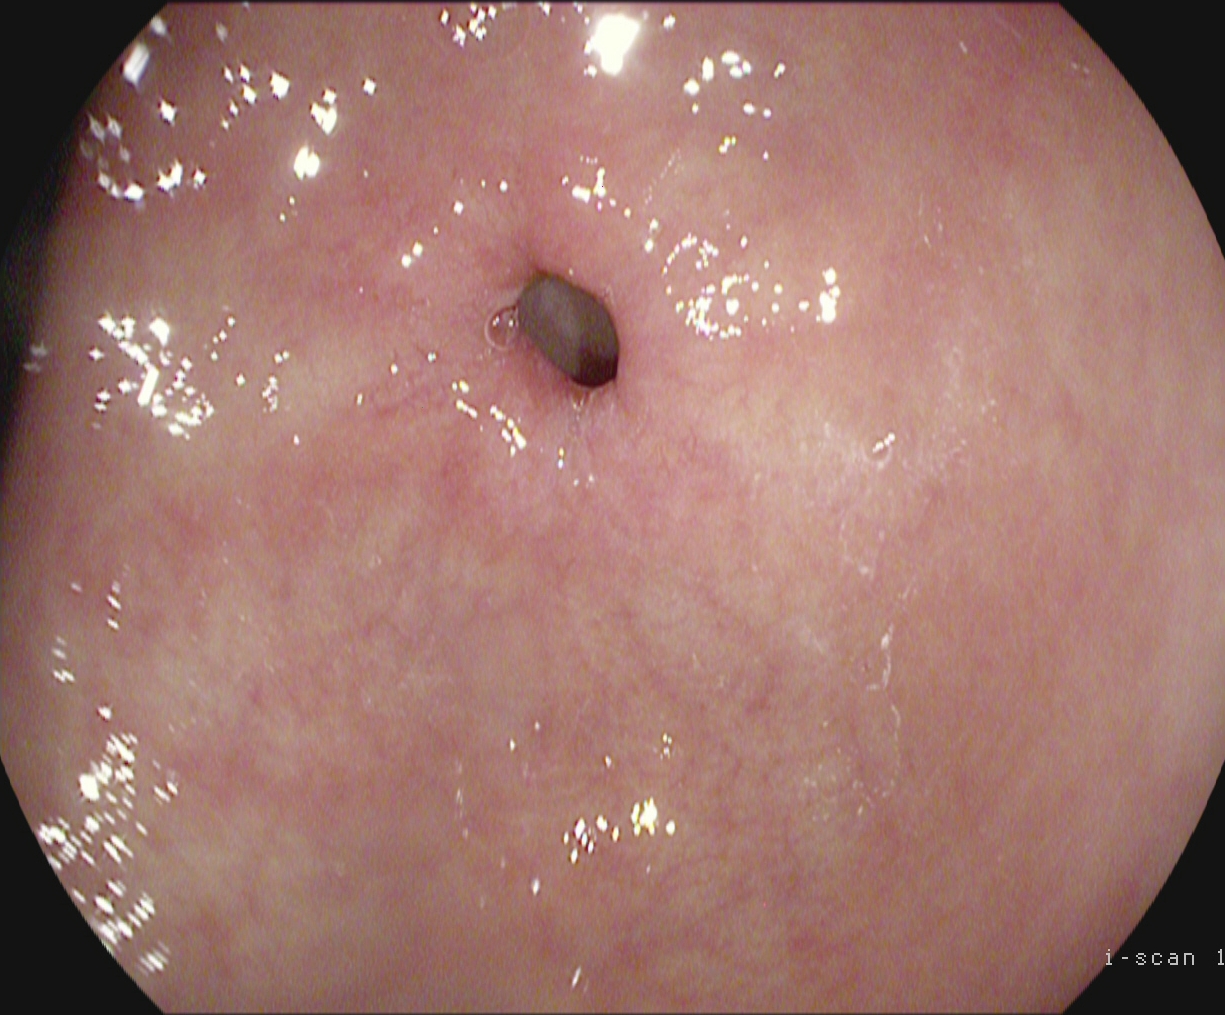Gastroscopy — pylorus.